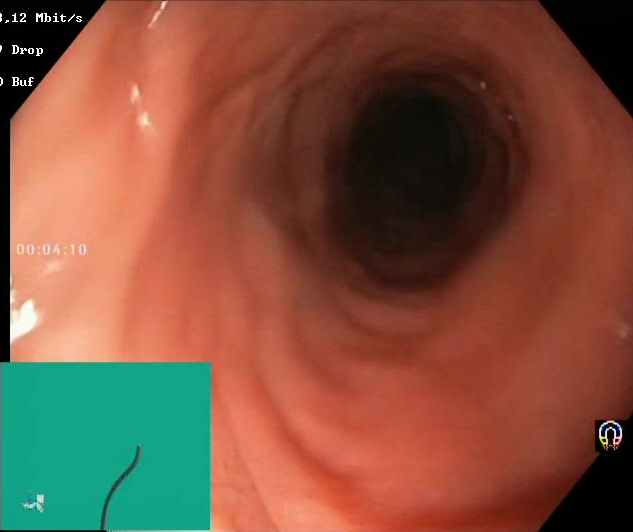modality: lower gastrointestinal endoscopy; finding: Boston Bowel Preparation Scale score 2–3 (adequate preparation)